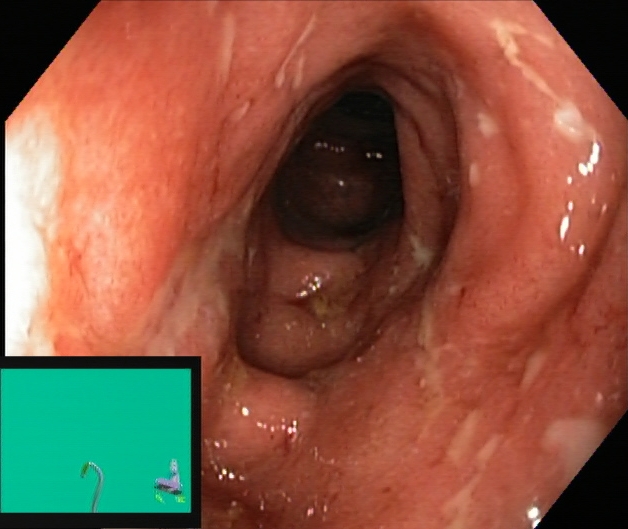Lower-GI endoscopy. Tract: lower GI tract. Finding: ulcerative colitis, Mayo endoscopic subscore 2.